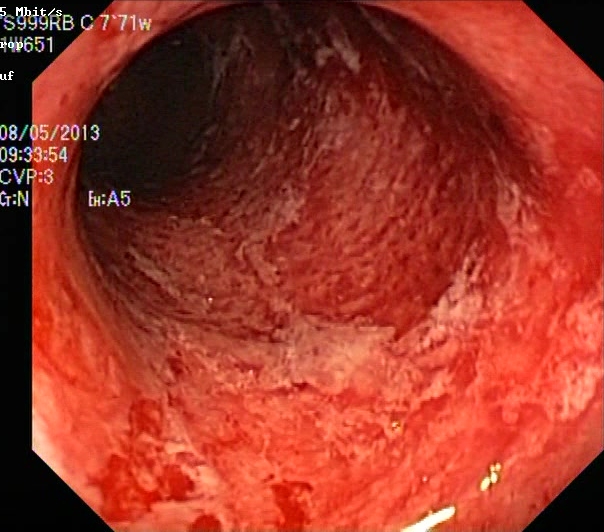Lower gastrointestinal endoscopy — UC, Mayo endoscopic subscore 3.